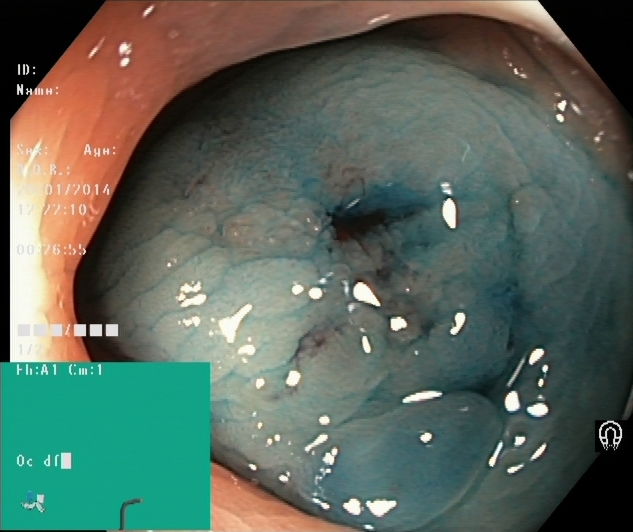Dyed and lifted polyp (pre-resection).